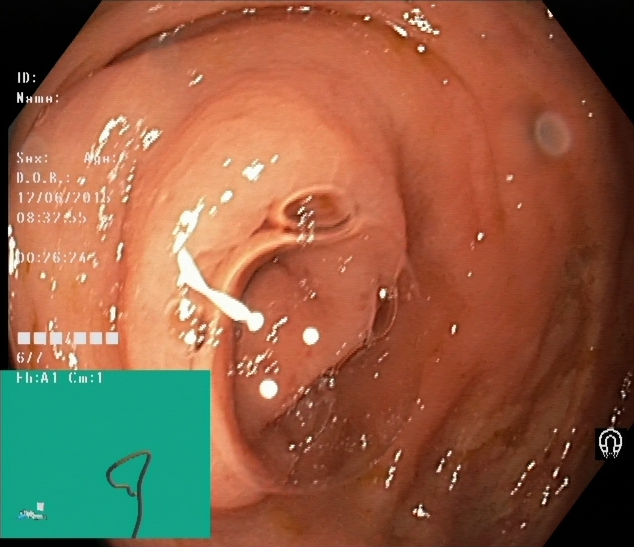Cecum.